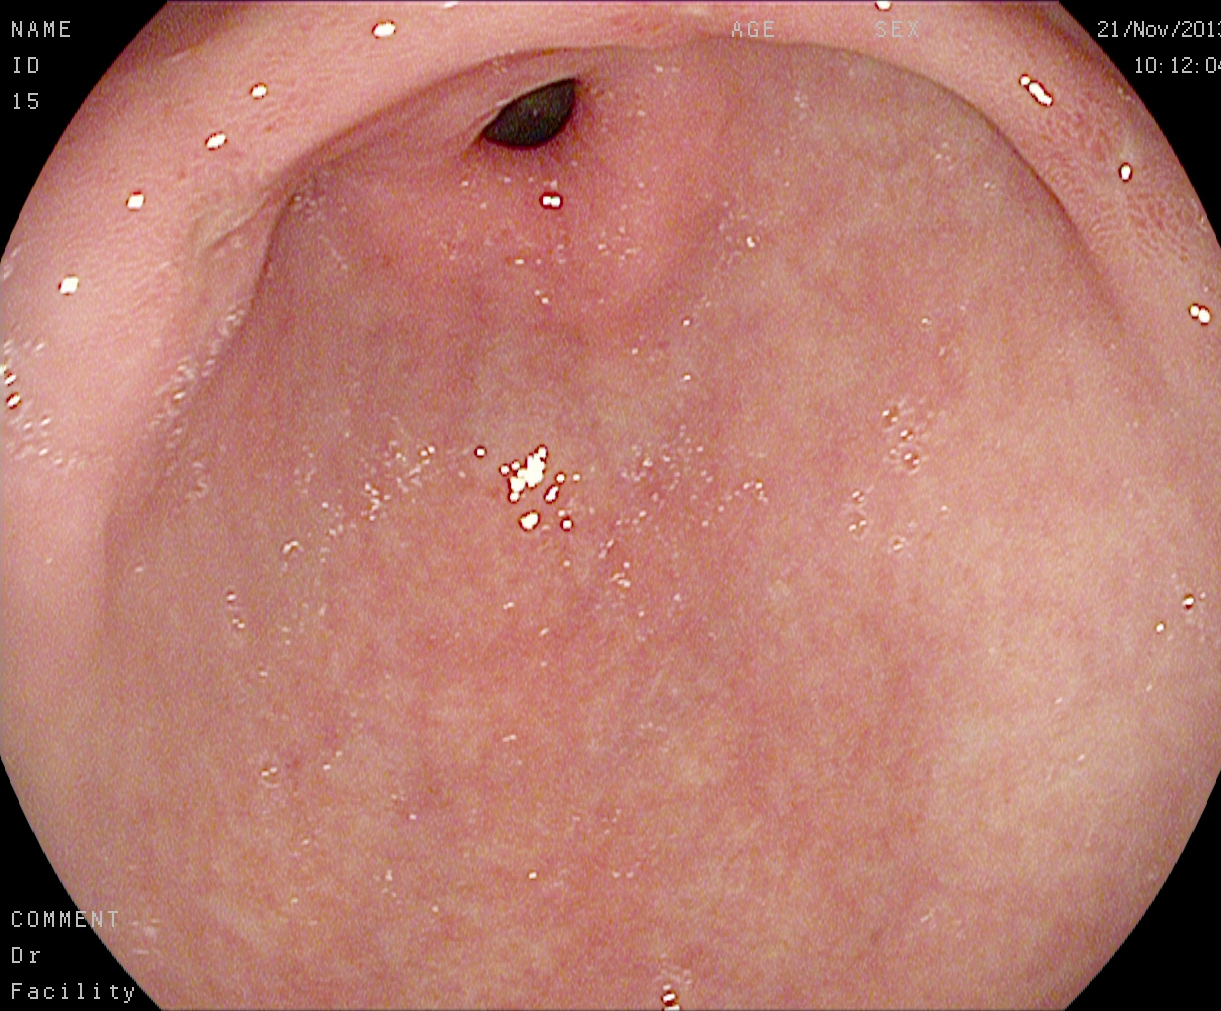Endoscopy image of the upper GI tract showing pylorus.